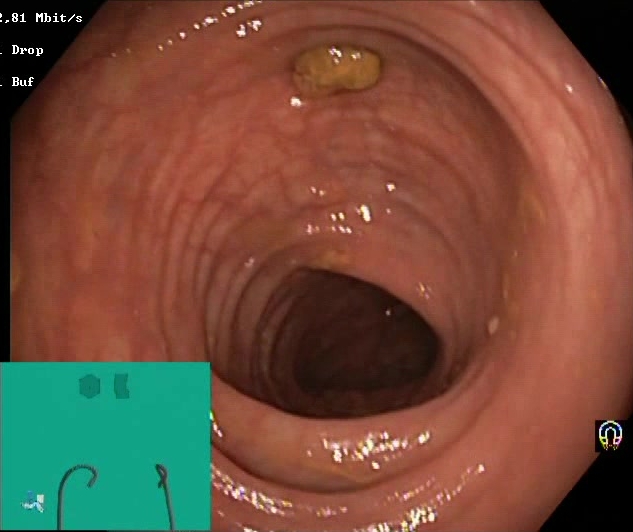BBPS score 2–3 (adequate preparation).